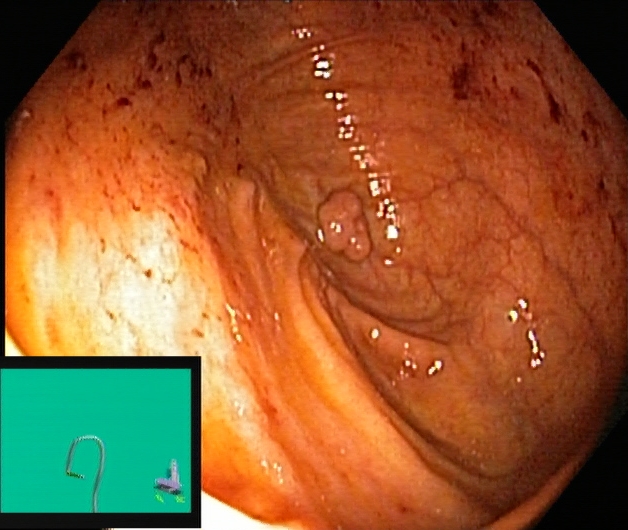{"modality": "lower gastrointestinal endoscopy", "tract": "lower GI tract", "finding": "cecum"}